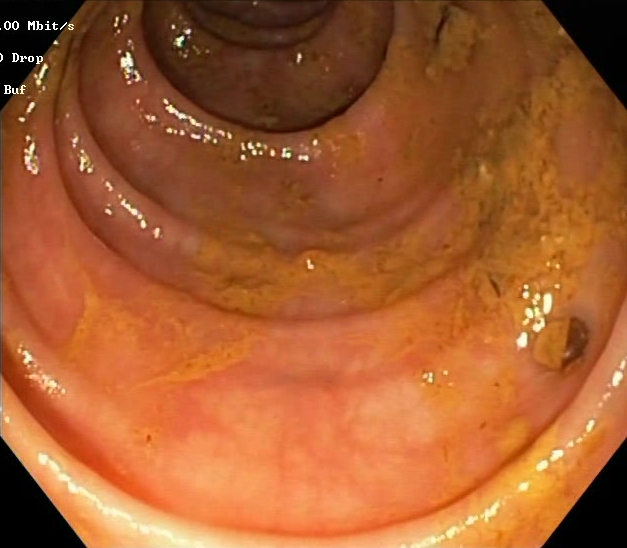This endoscopy frame of the lower GI tract shows Boston Bowel Preparation Scale score 0–1 (inadequate preparation).